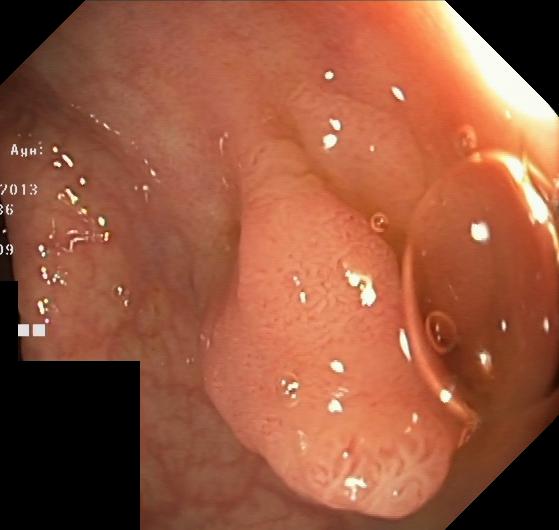This endoscopy frame of the lower GI tract shows colorectal polyp(s).